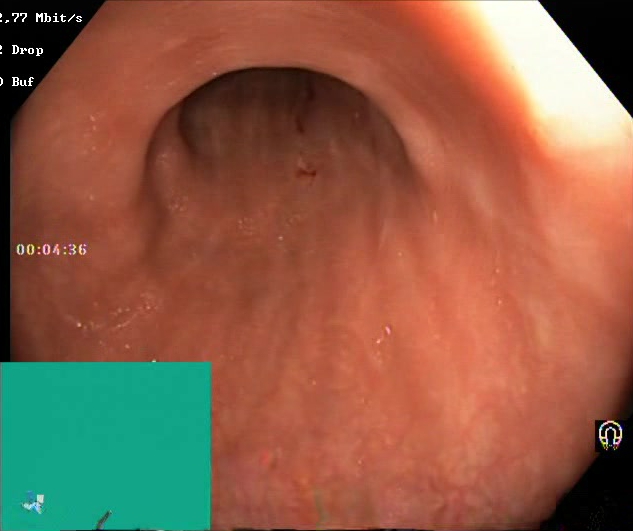This endoscopy frame of the lower GI tract shows Boston Bowel Preparation Scale score 2–3 (adequate preparation).